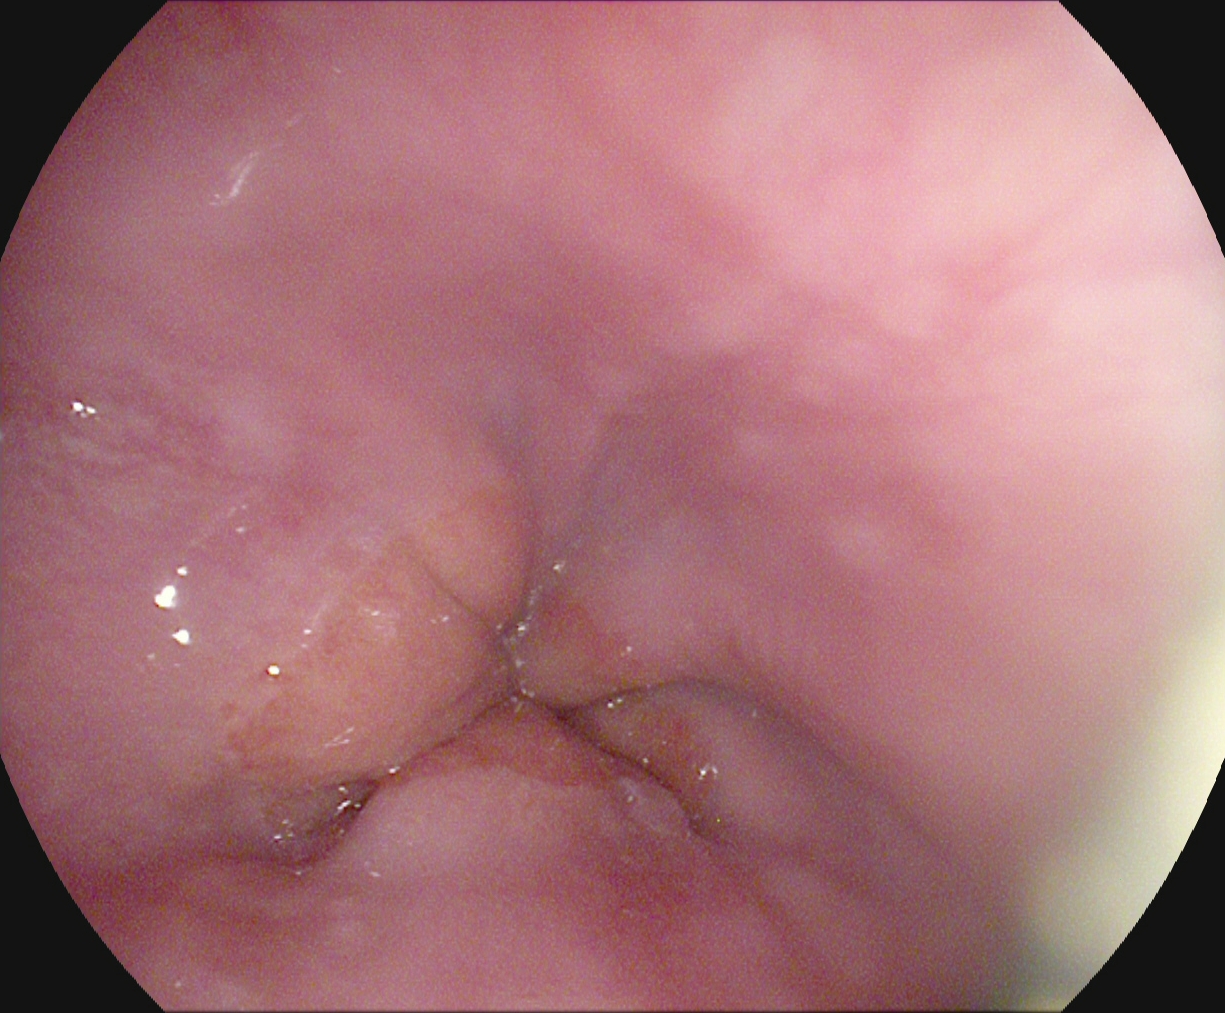modality: gastroscopy; tract: upper GI tract; category: anatomical landmark; finding: Z-line (gastroesophageal junction)